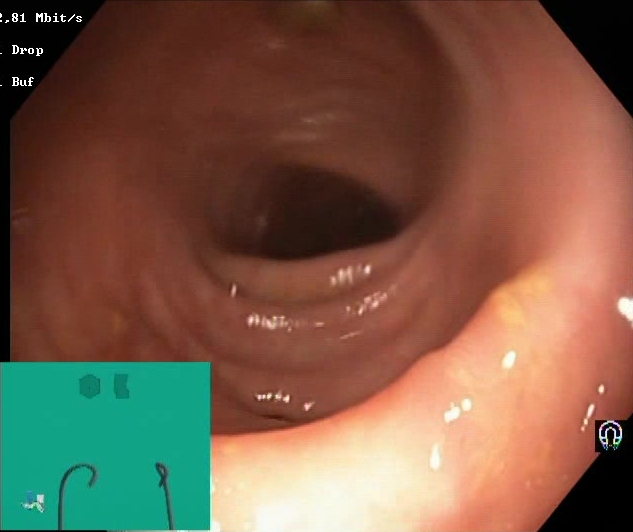modality: colonoscopy; category: mucosal-view quality; finding: Boston Bowel Preparation Scale score 2–3 (adequate preparation)